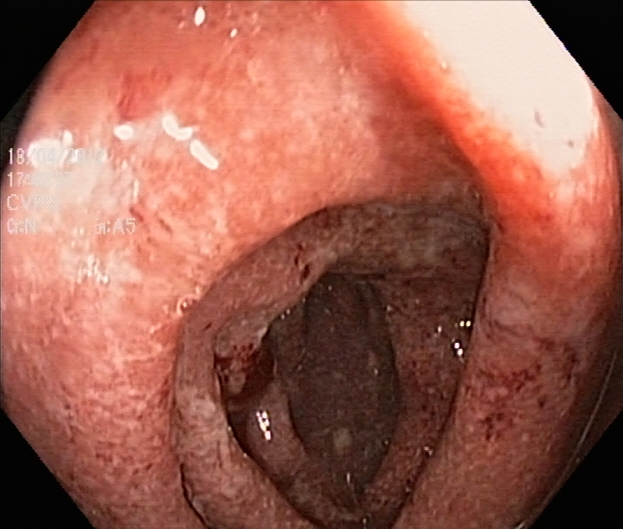{"modality": "colonoscopy", "tract": "lower GI tract", "finding": "ulcerative colitis, Mayo endoscopic subscore 2"}